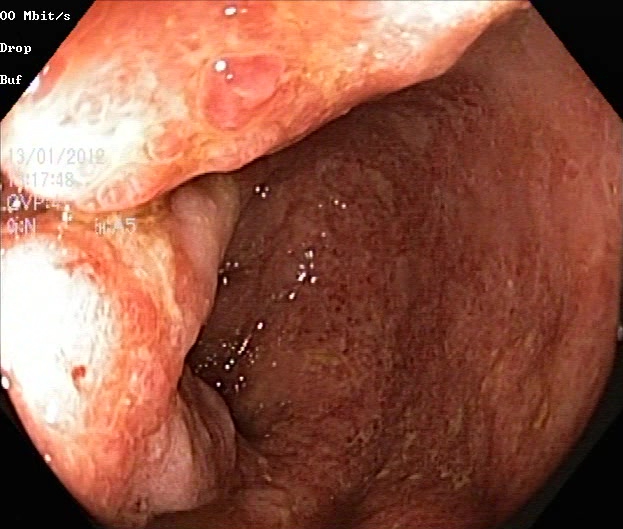Gastrointestinal endoscopy image of the lower GI tract showing UC, Mayo endoscopic subscore 2.